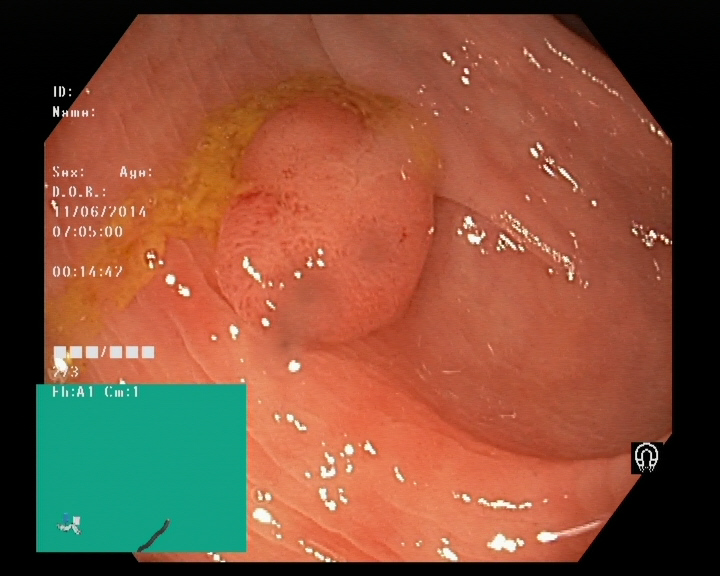modality: lower-GI endoscopy | tract: lower GI tract | category: pathological finding | finding: colorectal polyp(s)